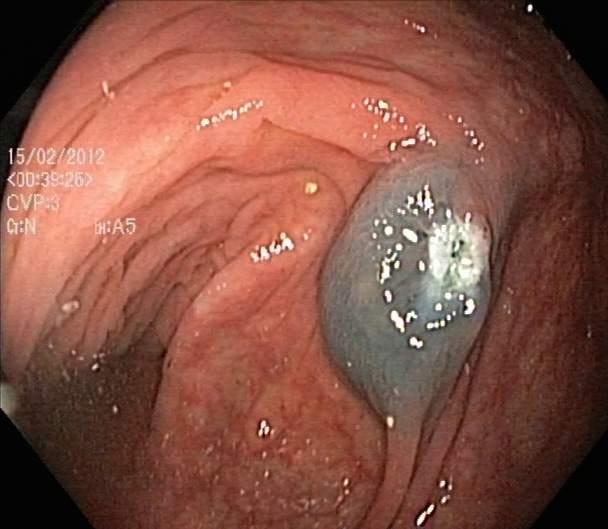Dyed resection margins (post-polypectomy).